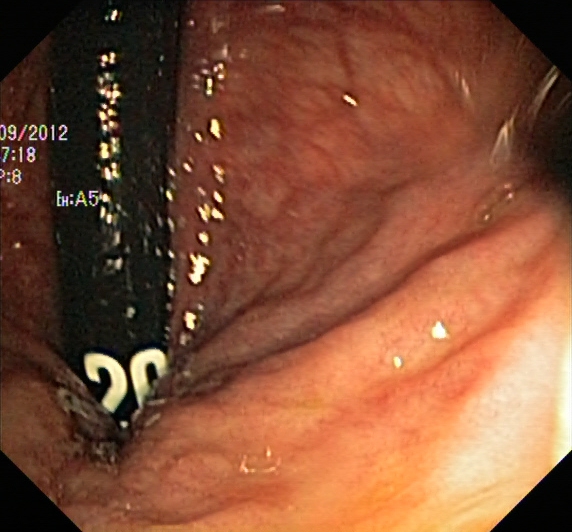PROCEDURE: Lower gastrointestinal endoscopy.
FINDINGS: Rectum in retroflexion.